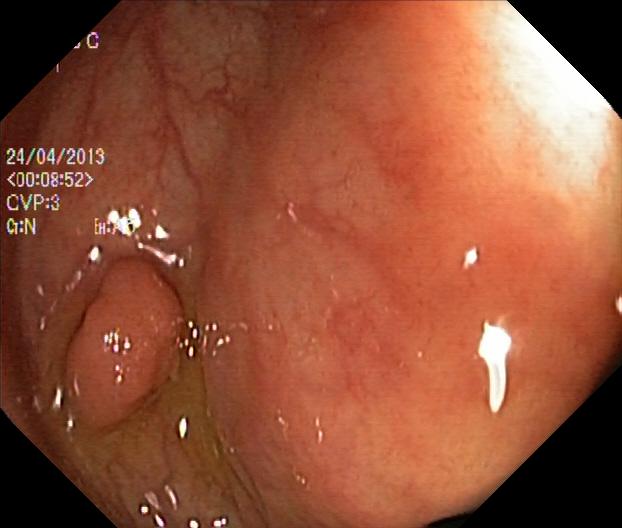Lower gastrointestinal endoscopy. Tract: lower GI tract. Finding: colorectal polyp(s).